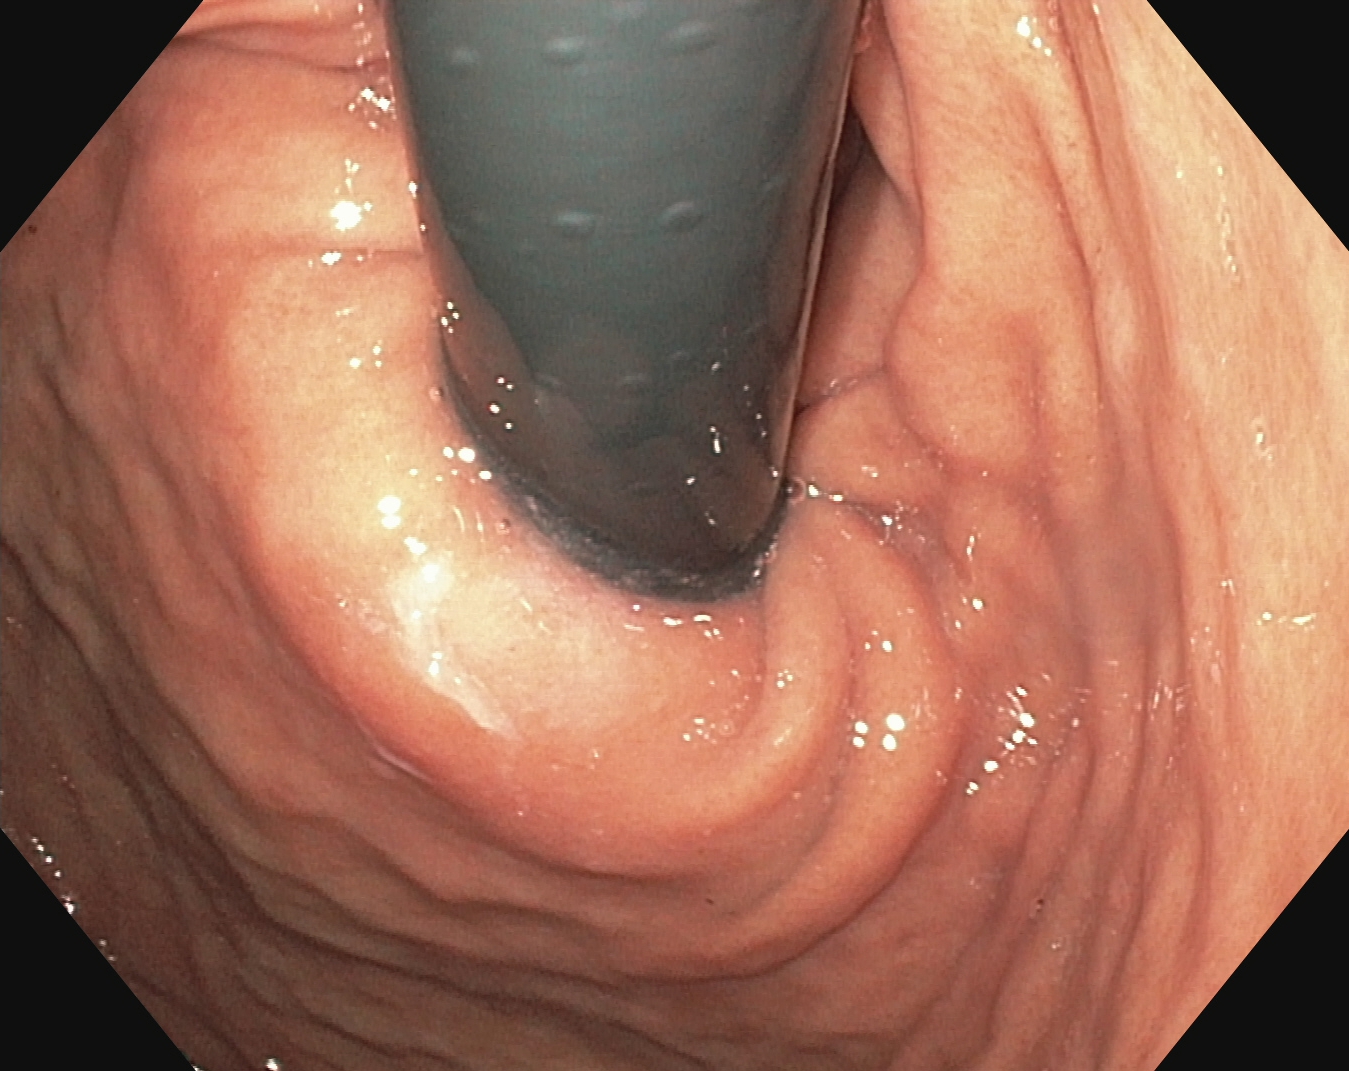EGD. Tract: upper GI tract. Anatomical landmark. Finding: stomach in retroflexion.